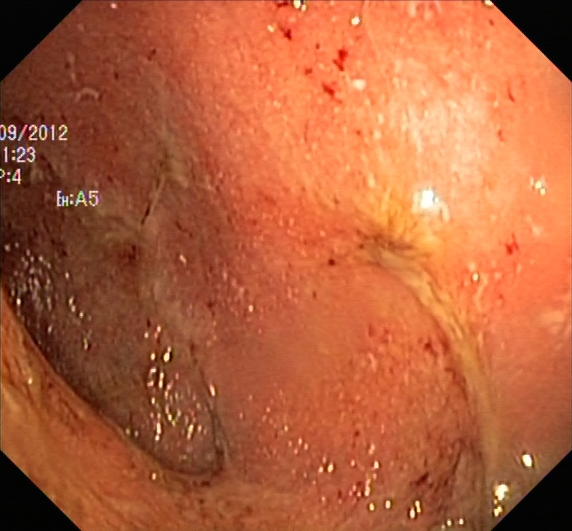ulcerative colitis, Mayo endoscopic subscore 2.